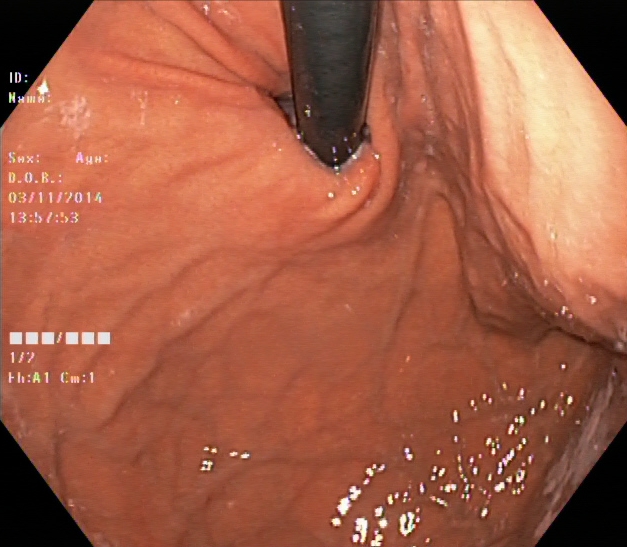Gastrointestinal endoscopy image showing stomach in retroflexion.